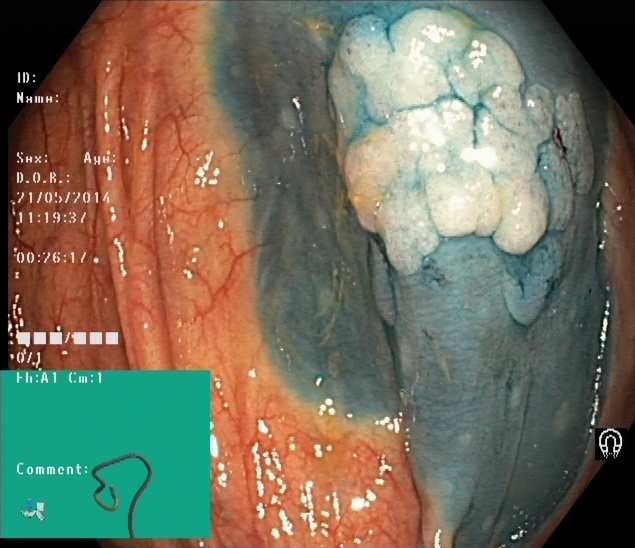{"modality": "lower-GI endoscopy", "tract": "lower GI tract", "category": "therapeutic intervention", "finding": "dyed and lifted polyp (pre-resection)"}